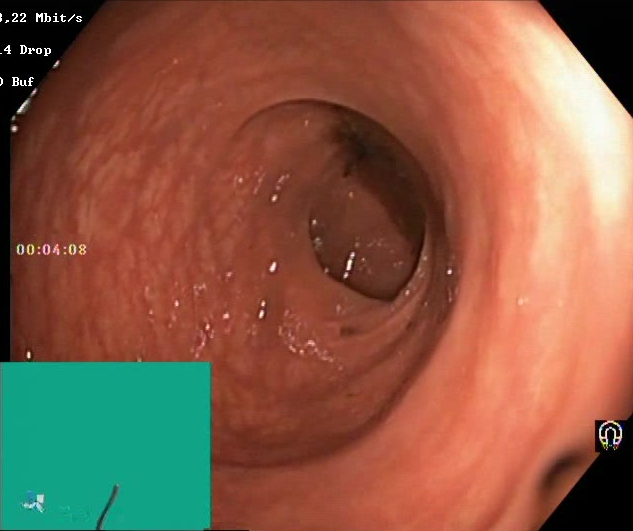{"modality": "lower gastrointestinal endoscopy", "finding": "Boston Bowel Preparation Scale score 0\u20131 (inadequate preparation)"}